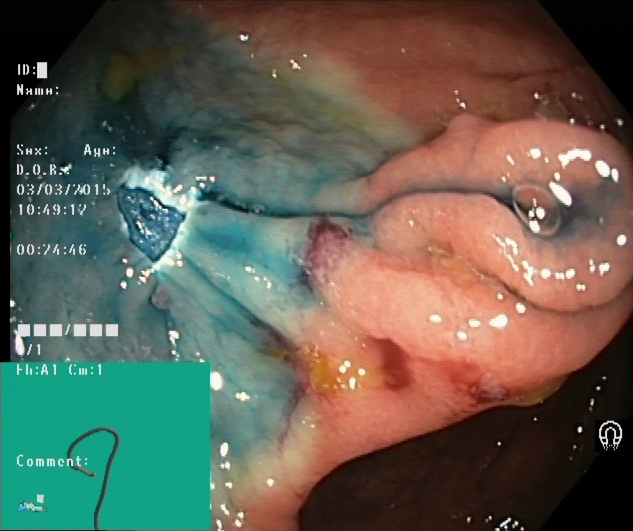{"modality": "lower gastrointestinal endoscopy", "finding": "dyed resection margins (post-polypectomy)"}